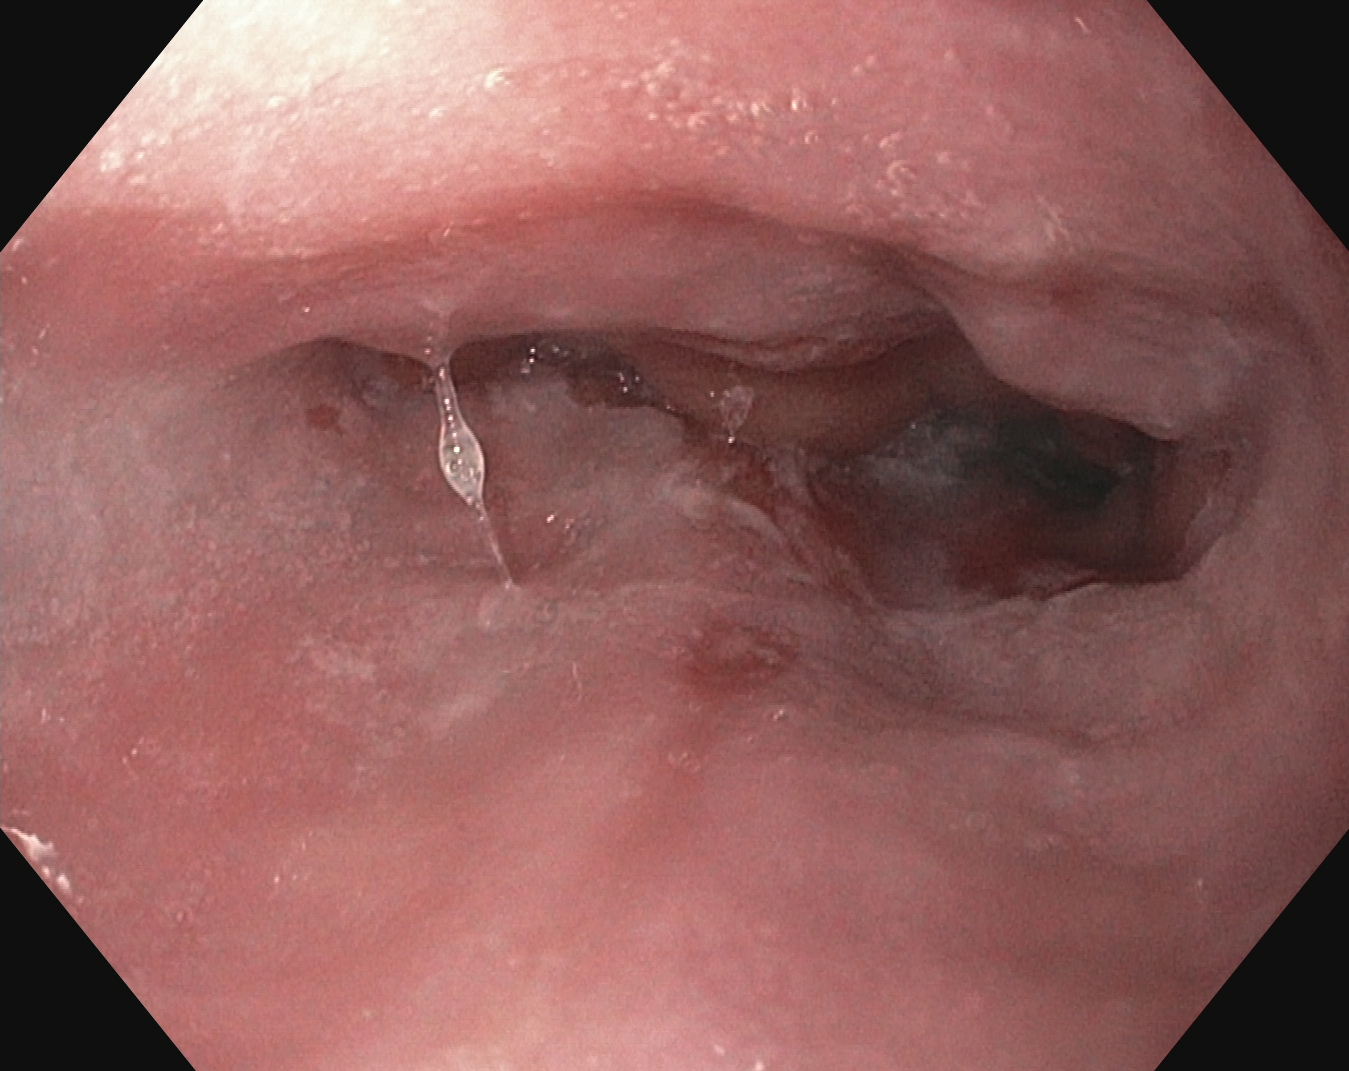{"modality": "EGD", "tract": "upper GI tract", "finding": "reflux esophagitis, Los Angeles grade A"}